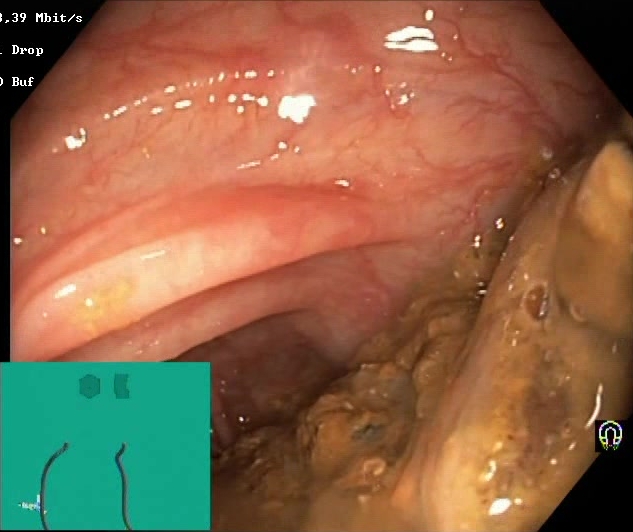Lower gastrointestinal endoscopy. Tract: lower GI tract. Finding: BBPS score 0–1 (inadequate preparation).